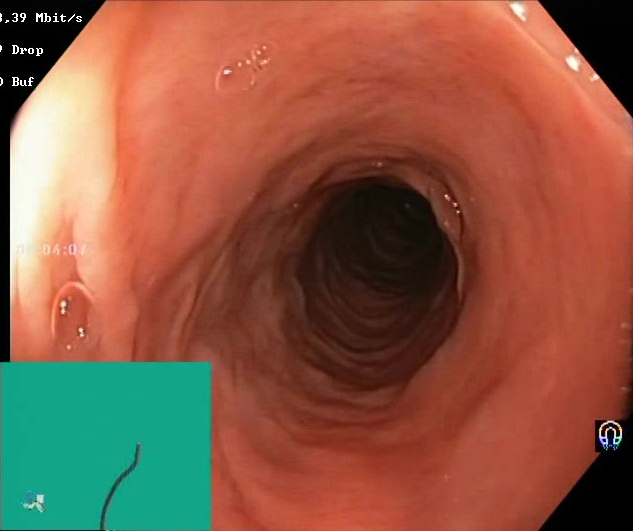PROCEDURE: Colonoscopy.
FINDINGS: Boston Bowel Preparation Scale score 2–3 (adequate preparation).